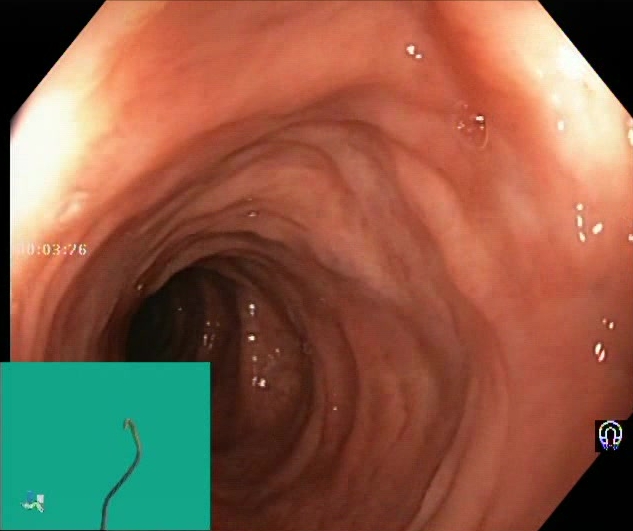modality: colonoscopy; tract: lower GI tract; category: mucosal-view quality; finding: BBPS score 2–3 (adequate preparation)